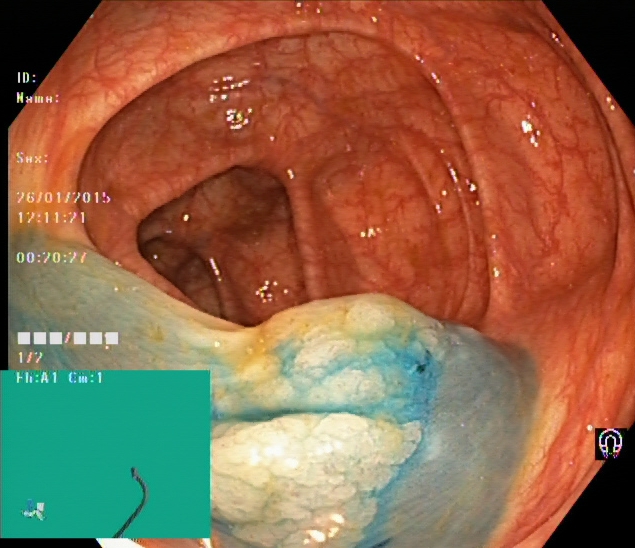modality: colonoscopy; finding: dyed and lifted polyp (pre-resection)